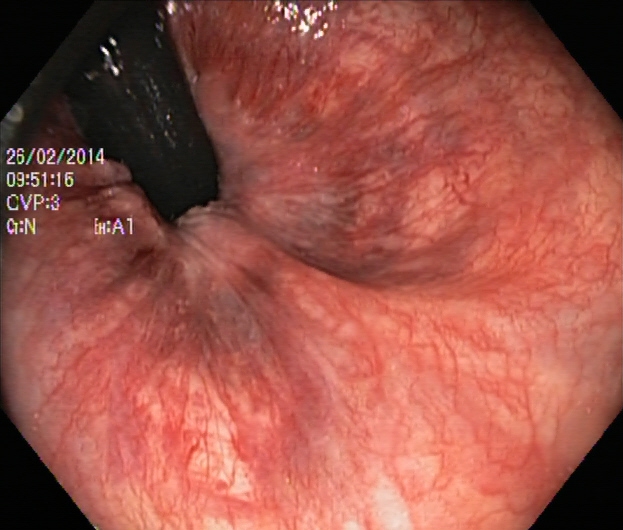modality: colonoscopy; tract: lower GI tract; category: anatomical landmark; finding: rectum in retroflexion